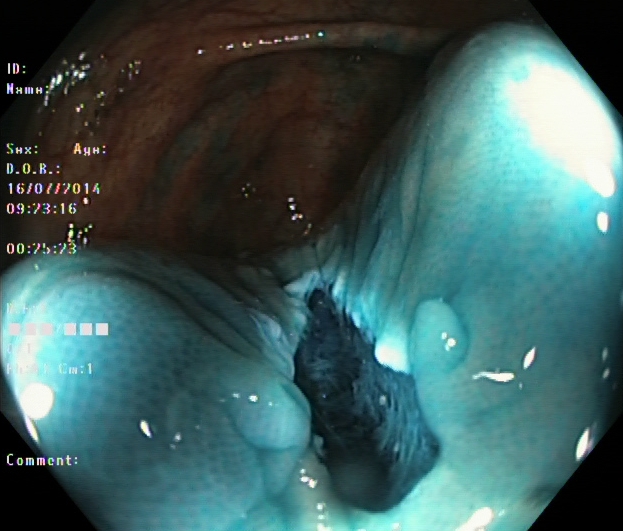modality: lower gastrointestinal endoscopy
tract: lower GI tract
category: therapeutic intervention
finding: dyed resection margins (post-polypectomy)